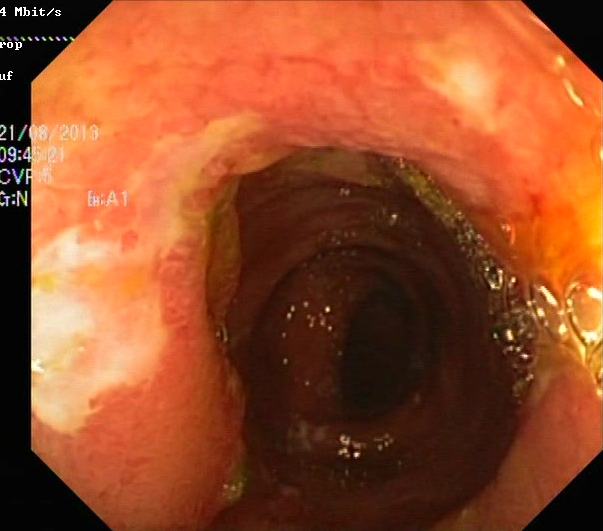{"modality": "colonoscopy", "finding": "ulcerative colitis, Mayo endoscopic subscore 3"}